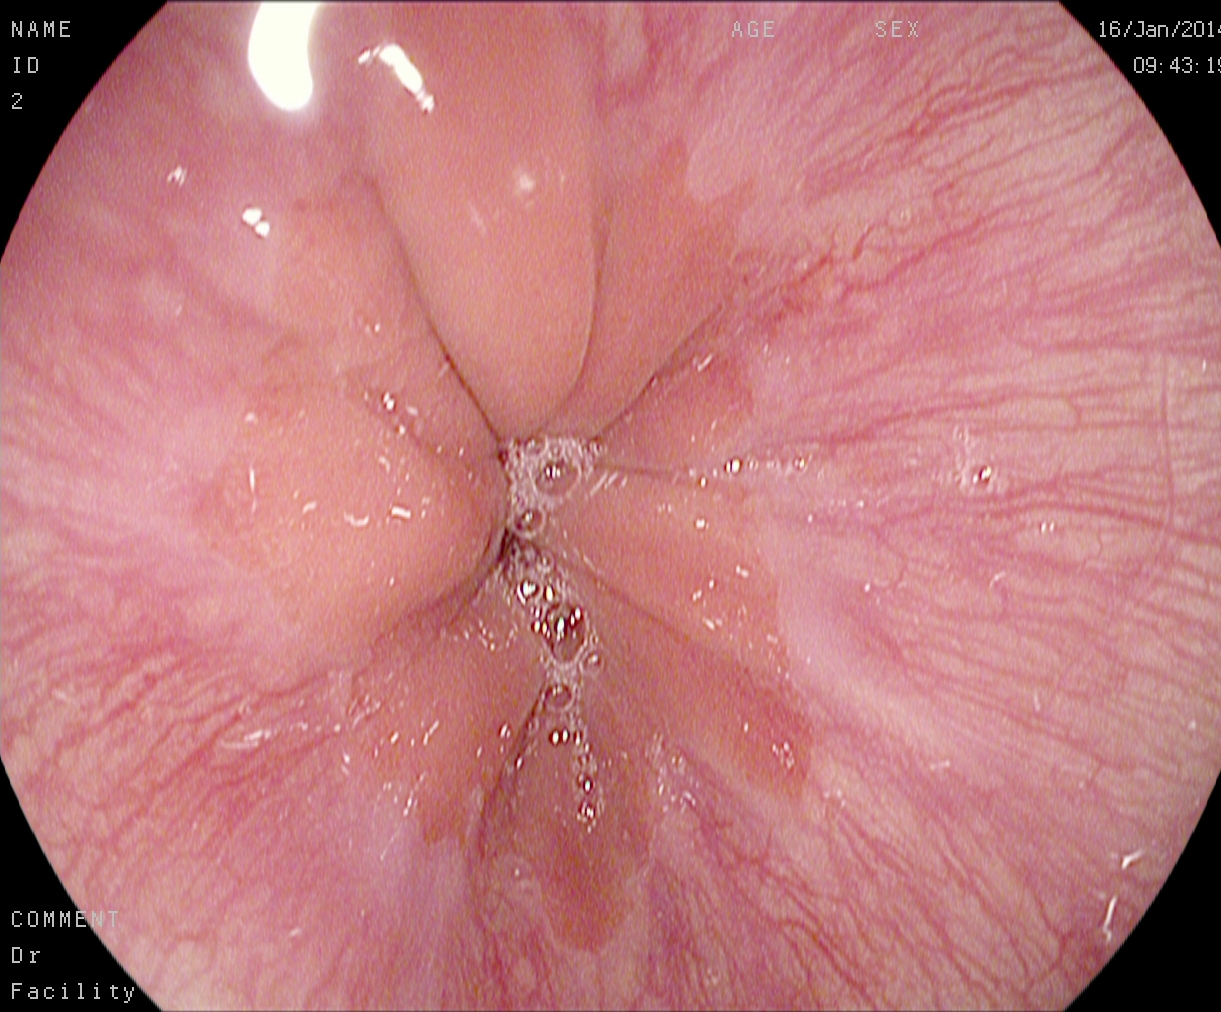Z-line (gastroesophageal junction).